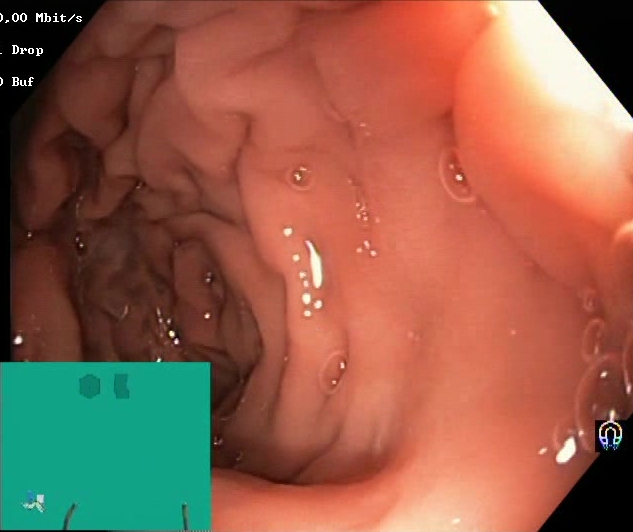PROCEDURE: Lower gastrointestinal endoscopy.
CATEGORY: Mucosal-view quality.
FINDINGS: Boston Bowel Preparation Scale score 2–3 (adequate preparation).